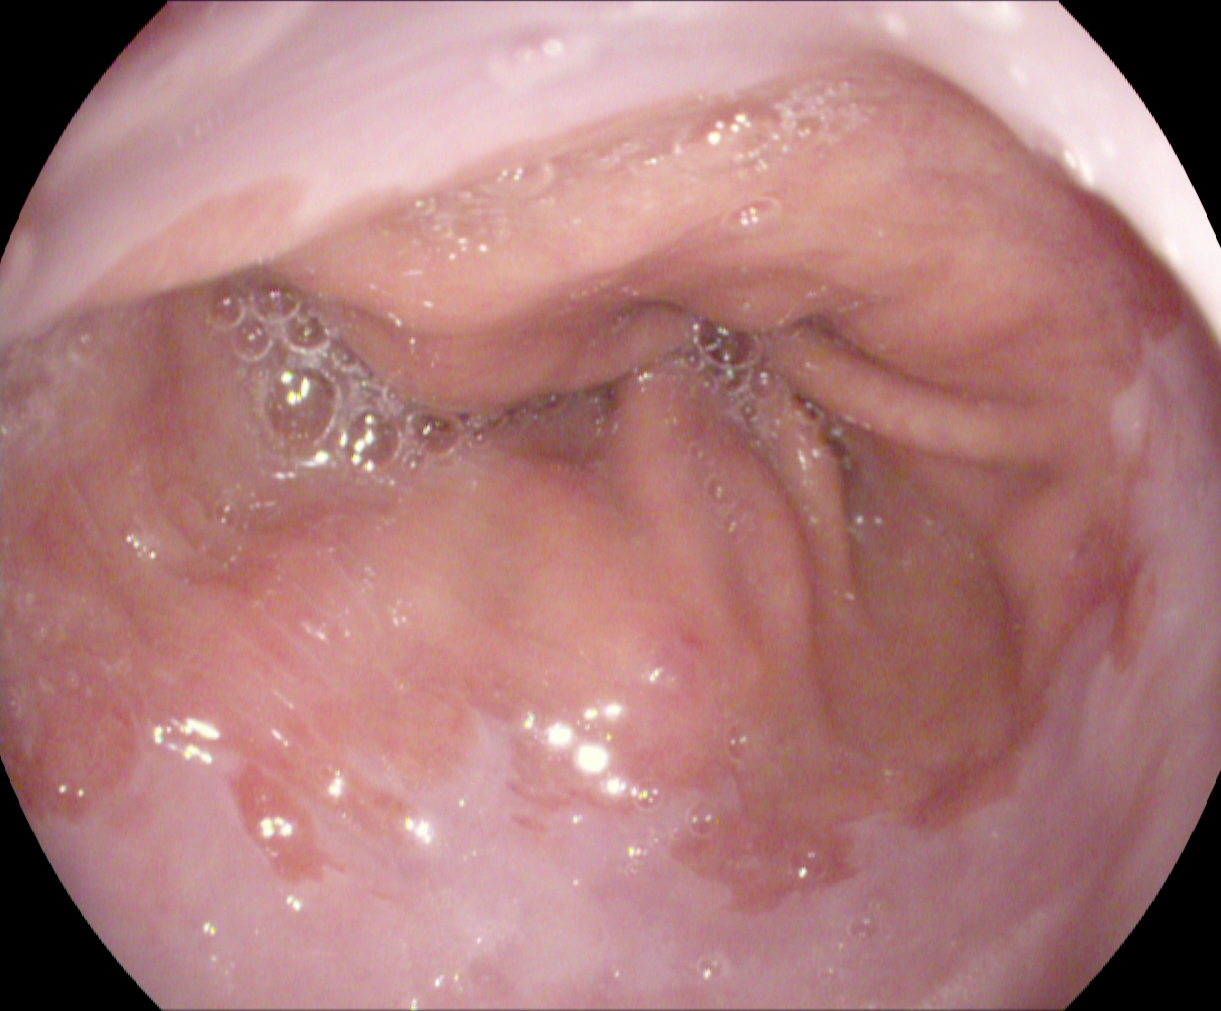EGD — reflux esophagitis, Los Angeles grade A.